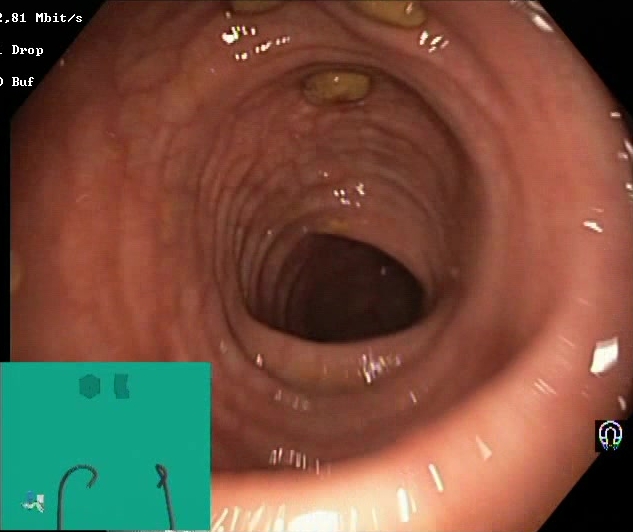PROCEDURE: Lower-GI endoscopy.
CATEGORY: Mucosal-view quality.
FINDINGS: Impacted stool.